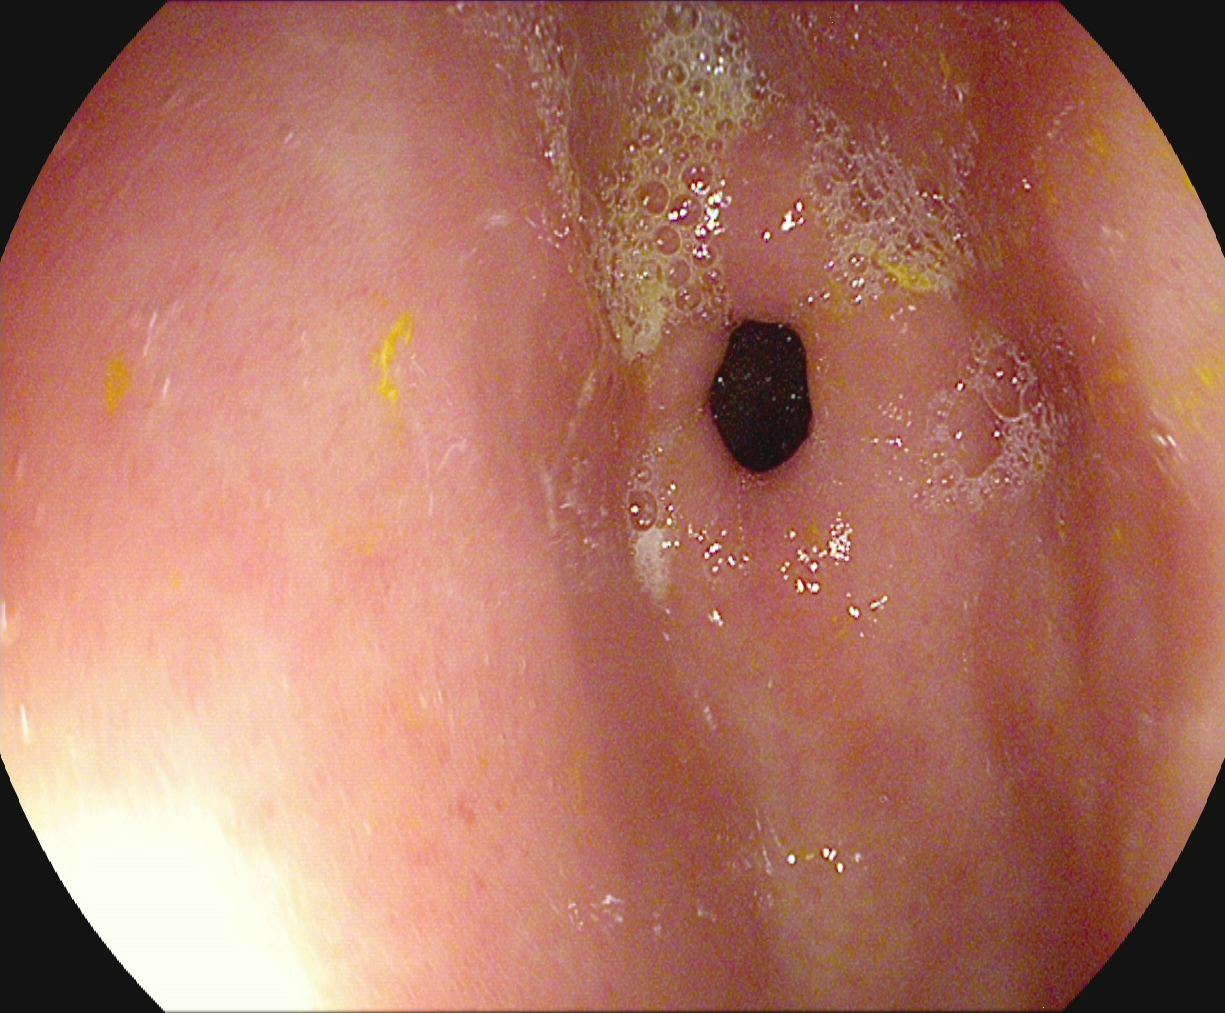modality: esophagogastroduodenoscopy | tract: upper GI tract | category: anatomical landmark | finding: pylorus